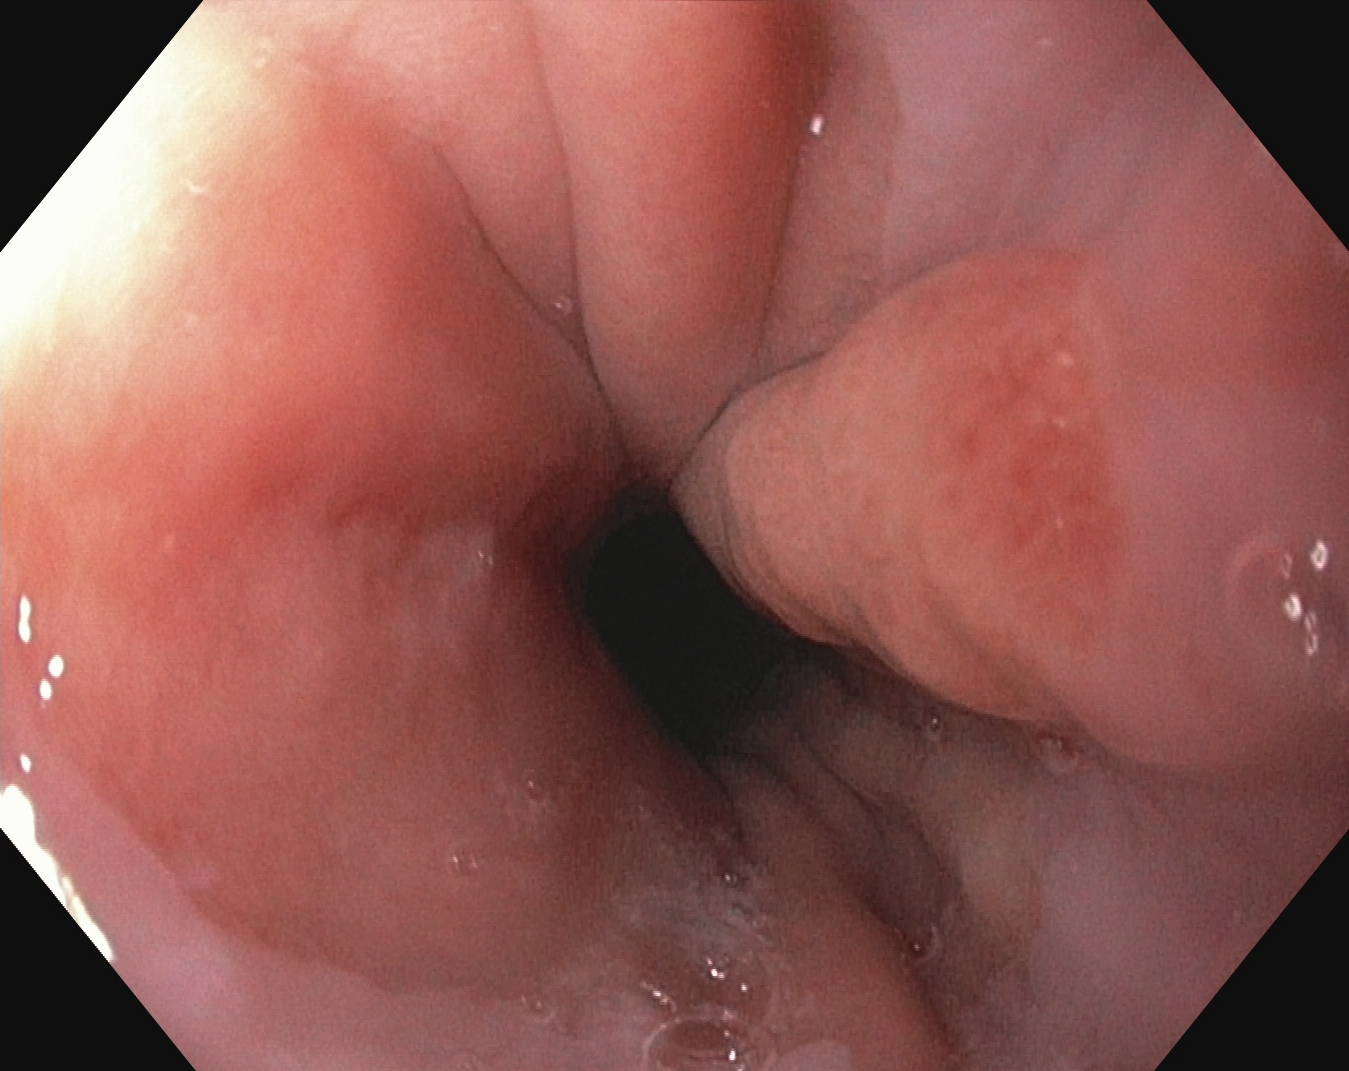modality: upper-GI endoscopy; tract: upper GI tract; category: anatomical landmark; finding: Z-line (gastroesophageal junction)